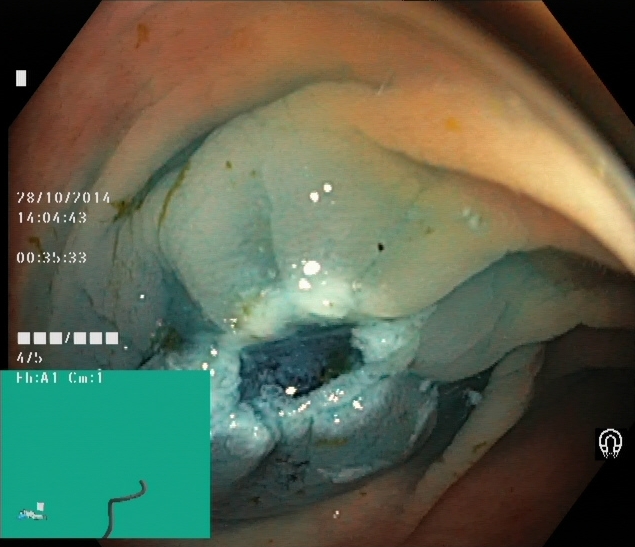{"modality": "lower-GI endoscopy", "tract": "lower GI tract", "finding": "dyed resection margins (post-polypectomy)"}